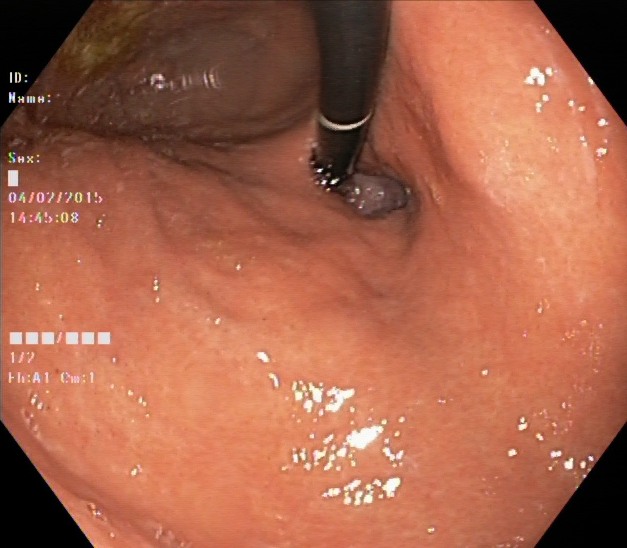modality: EGD; tract: upper GI tract; finding: stomach in retroflexion